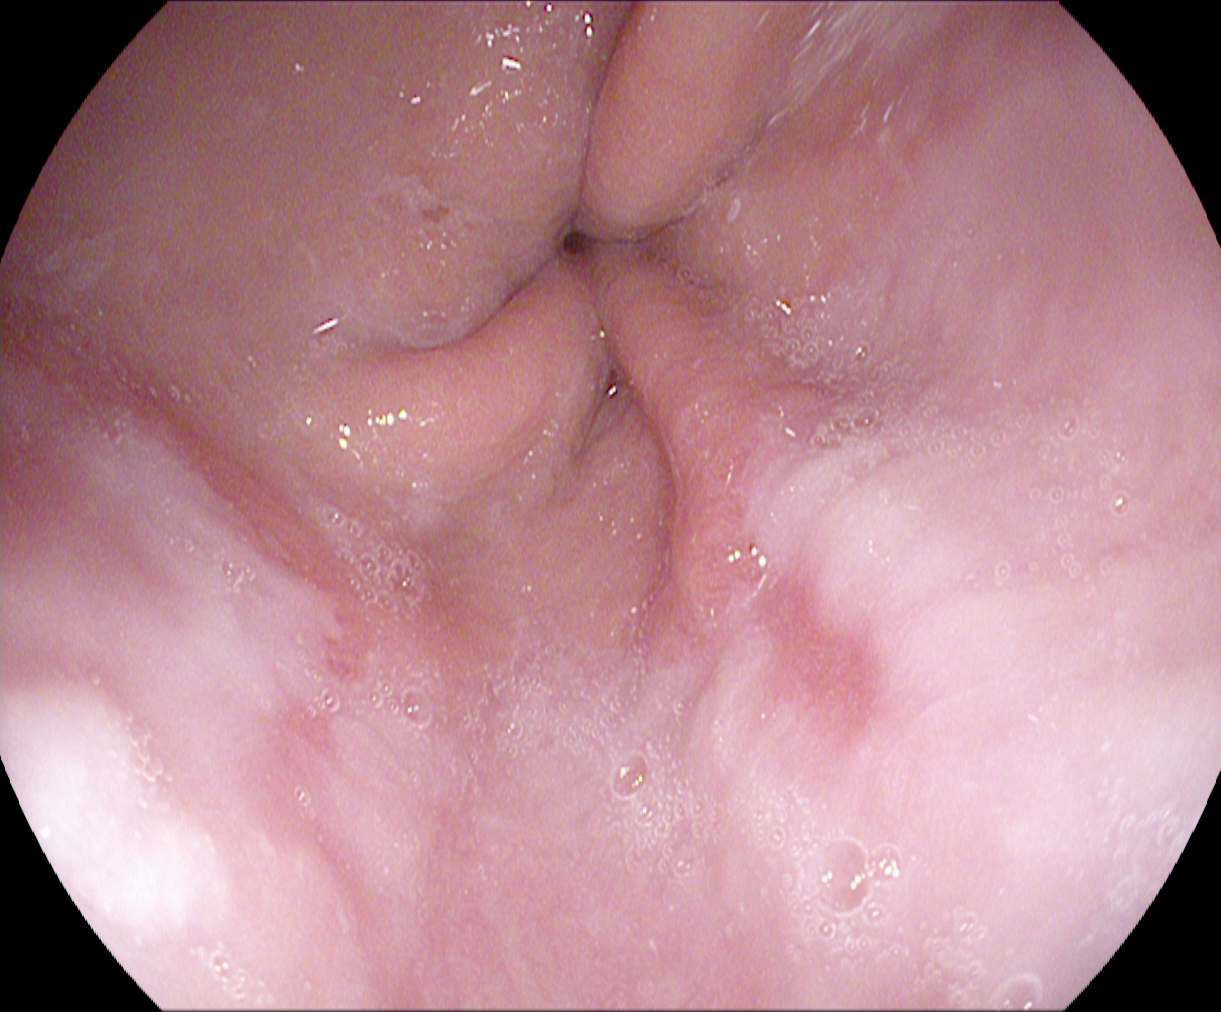modality: gastroscopy; tract: upper GI tract; category: pathological finding; finding: reflux esophagitis, LA grade A